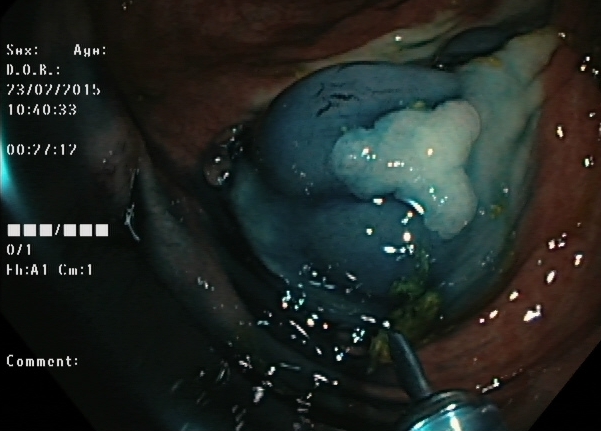PROCEDURE: Colonoscopy.
CATEGORY: Therapeutic intervention.
FINDINGS: Dyed and lifted polyp (pre-resection).